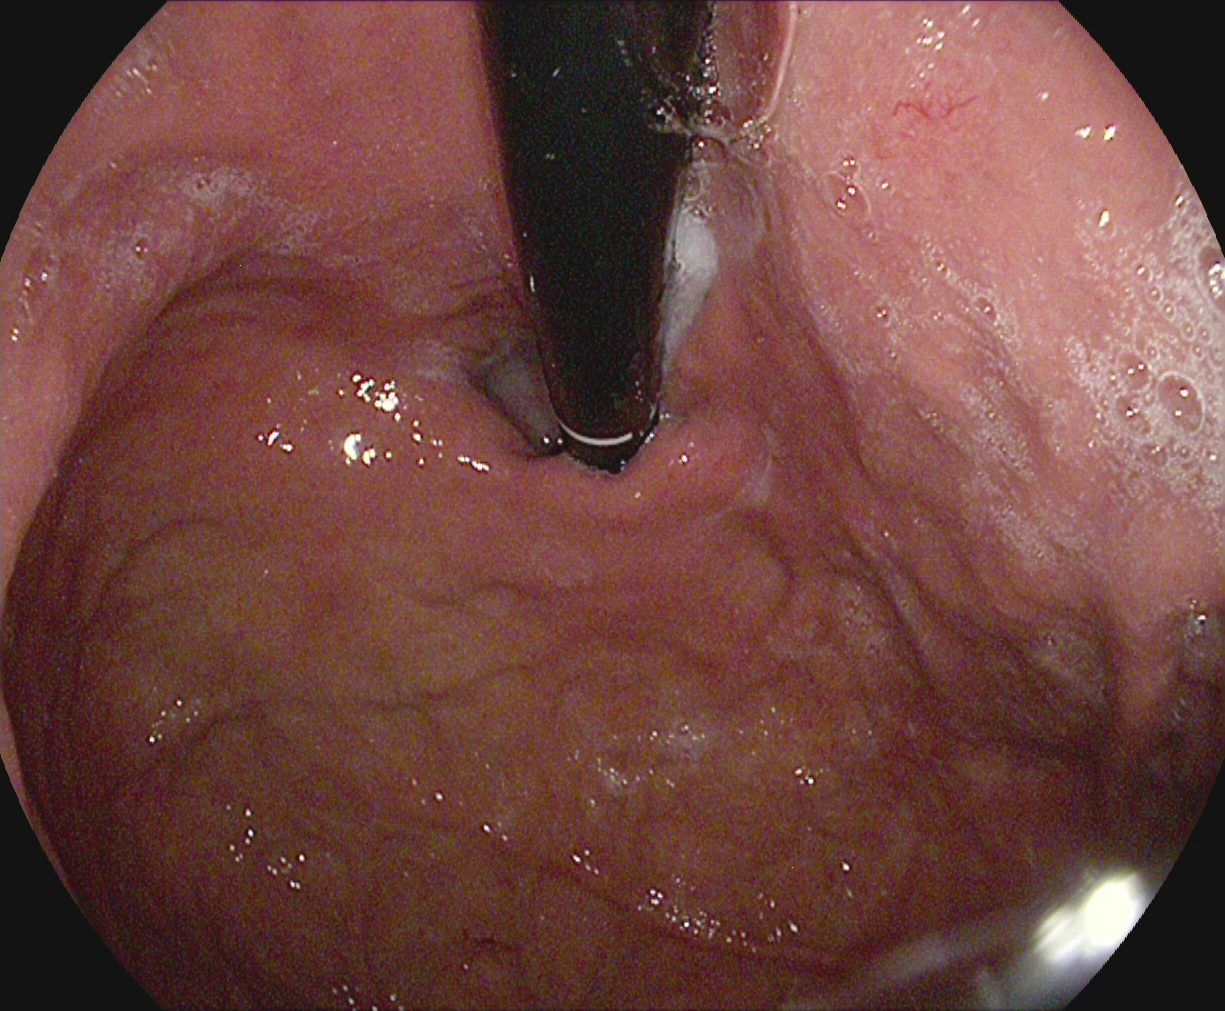This endoscopic image shows stomach in retroflexion.